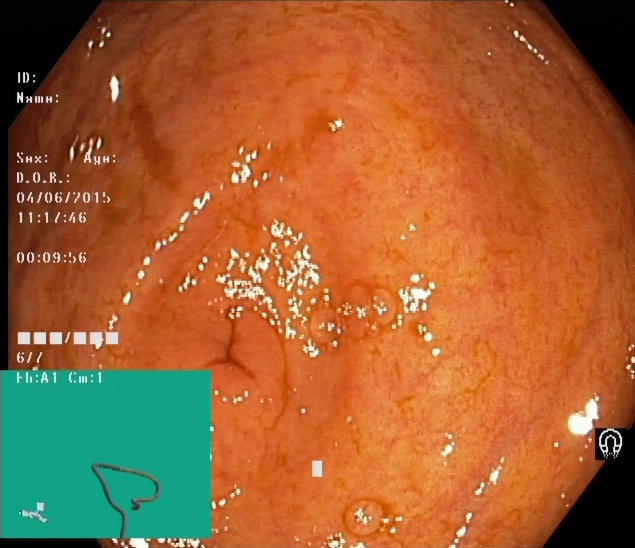{"modality": "colonoscopy", "tract": "lower GI tract", "category": "anatomical landmark", "finding": "cecum"}